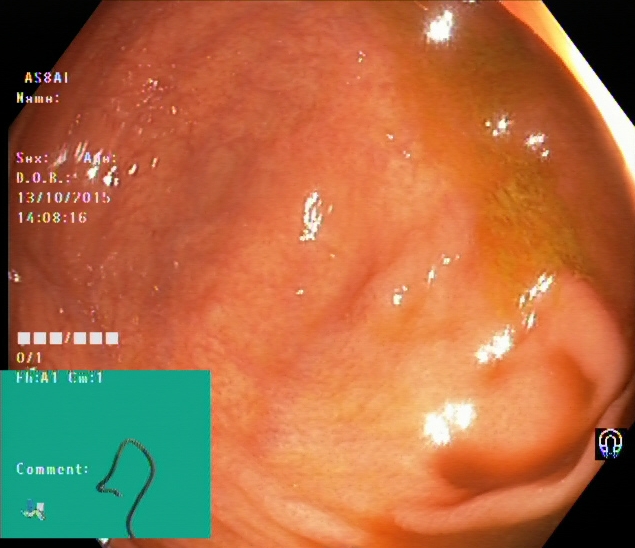Lower-GI endoscopy — cecum.